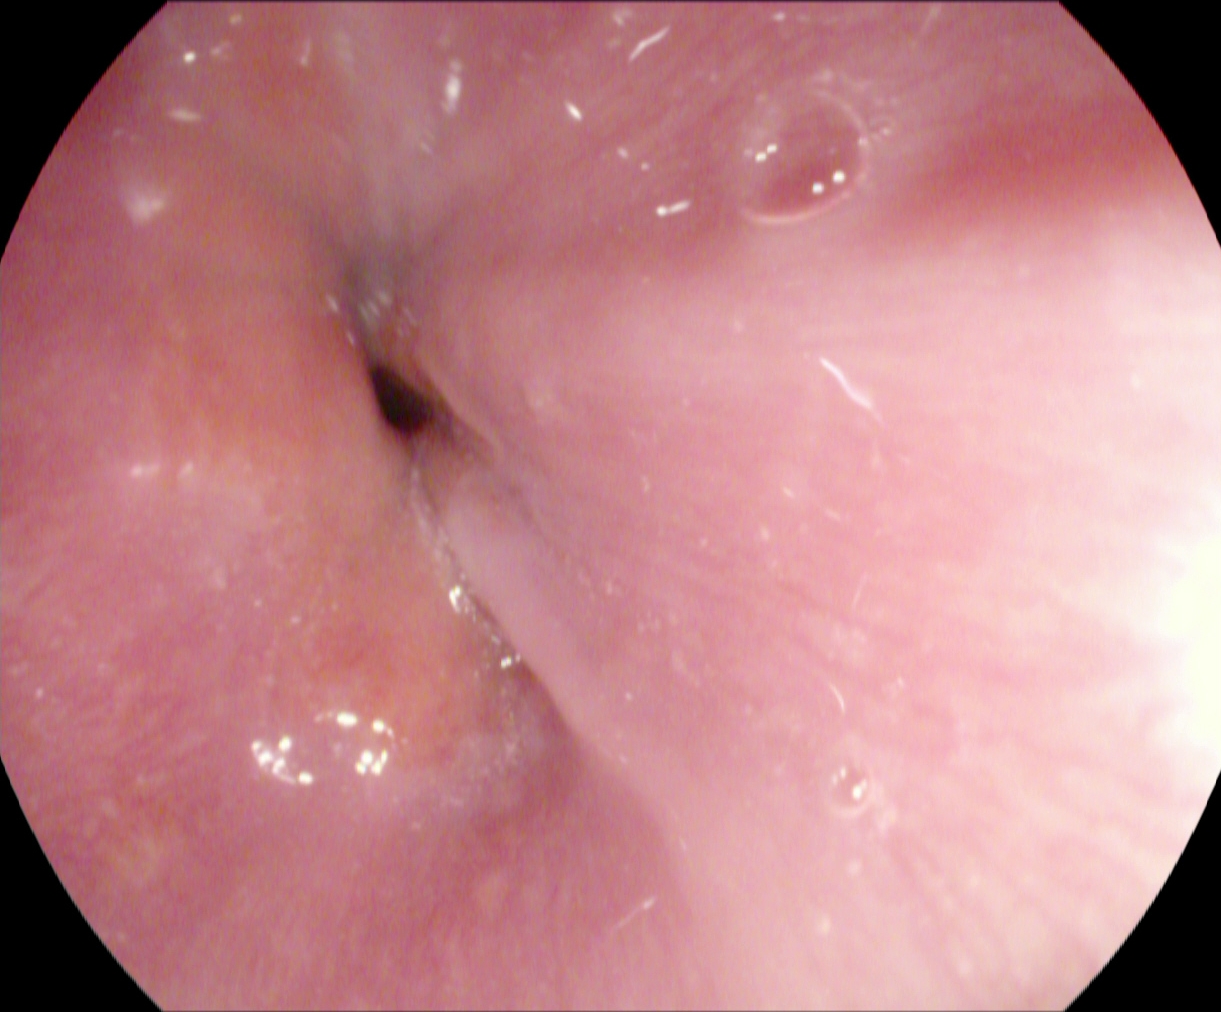Endoscopy image of the upper GI tract showing Z-line (gastroesophageal junction).